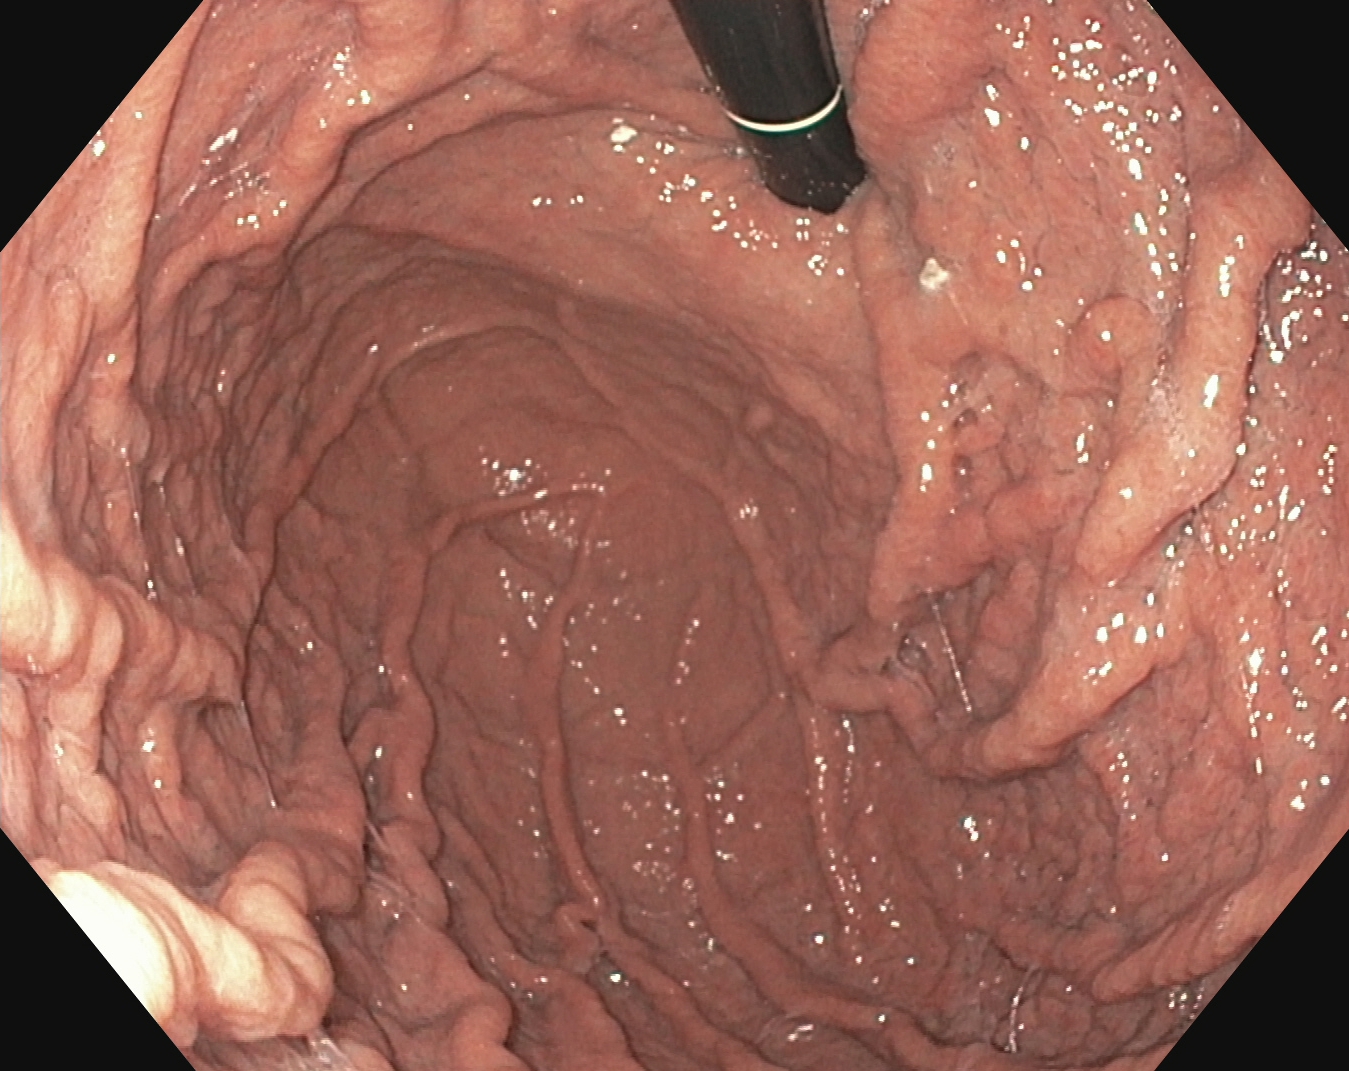Stomach in retroflexion.